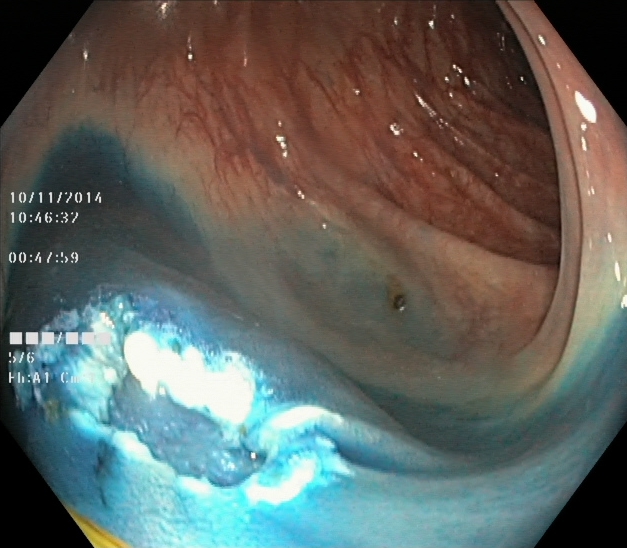Endoscopic image showing dyed resection margins (post-polypectomy).